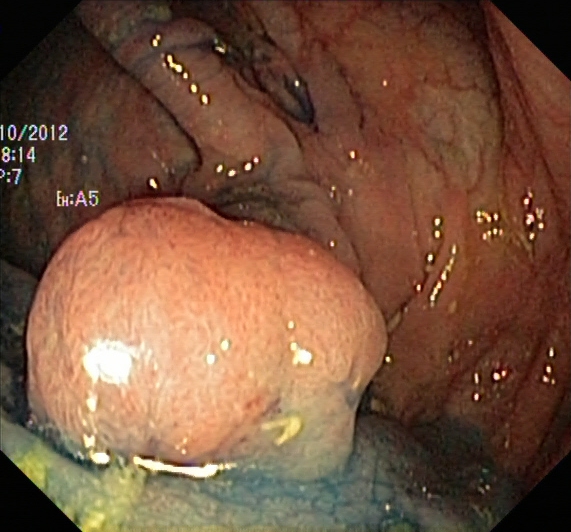Colonoscopy. Finding: dyed and lifted polyp (pre-resection).